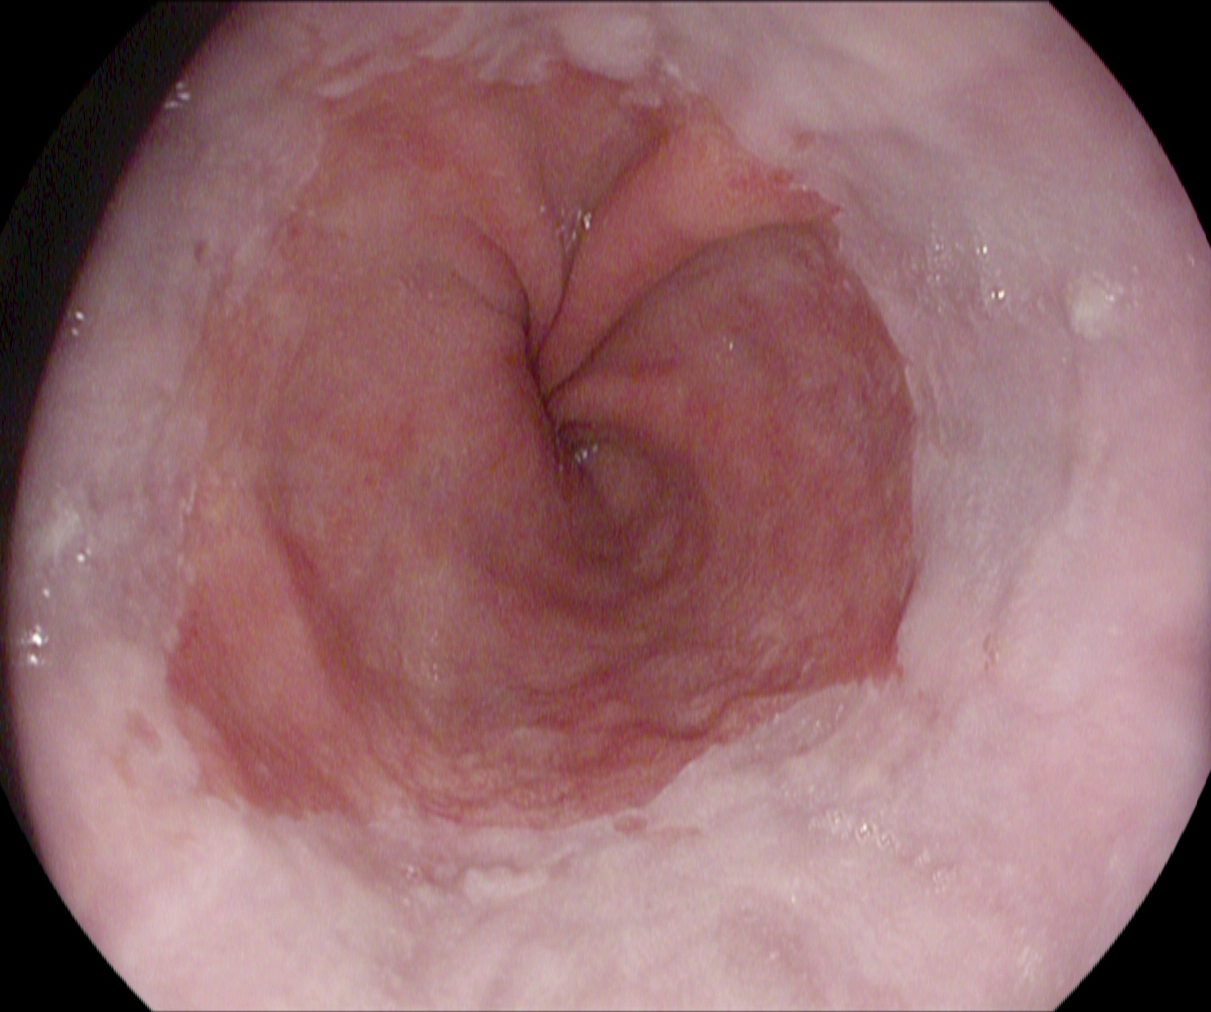modality: EGD; category: anatomical landmark; finding: Z-line (gastroesophageal junction)